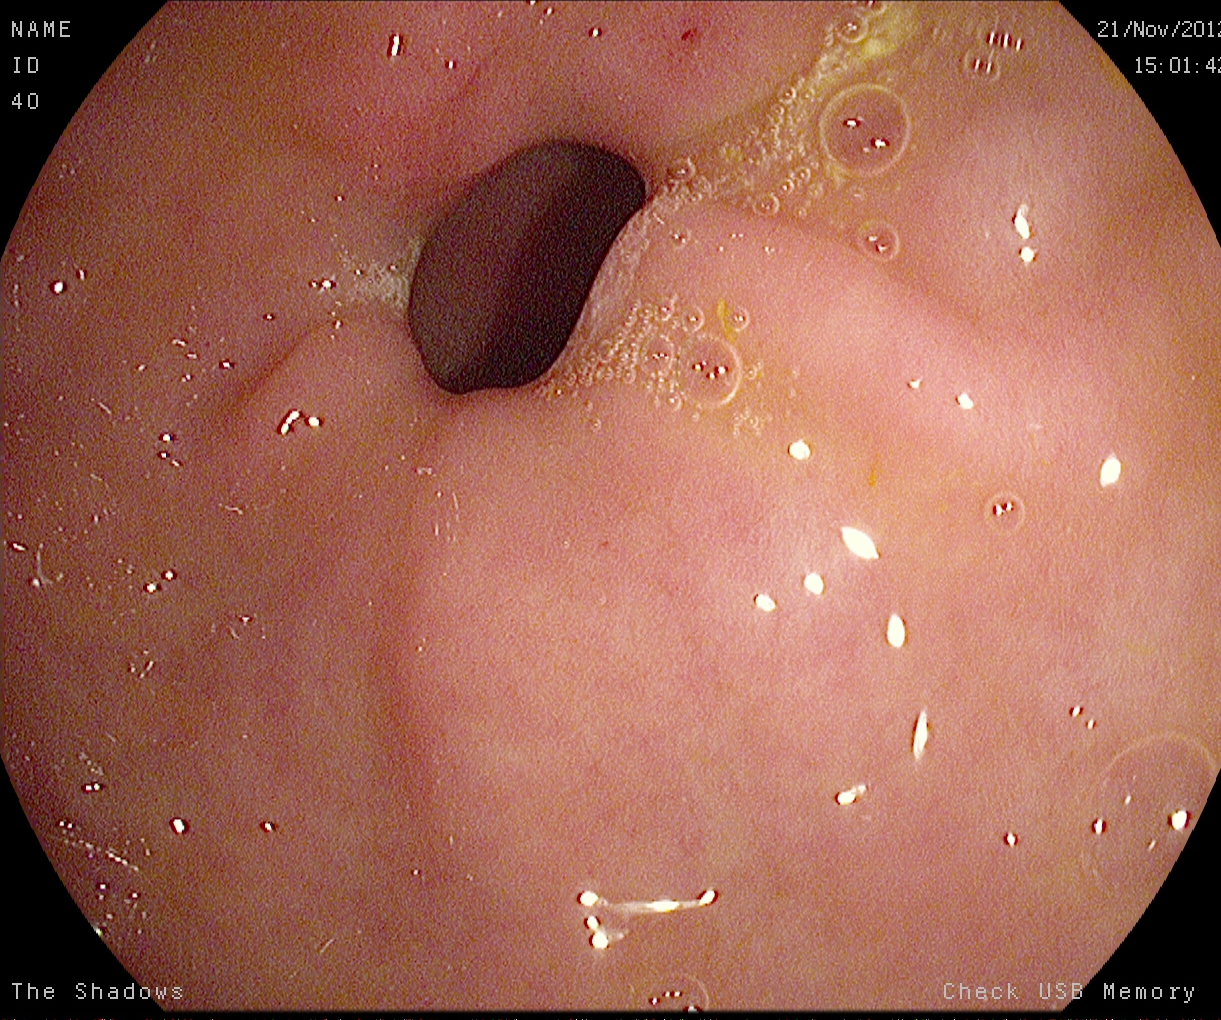This endoscopy frame of the upper GI tract shows pylorus.